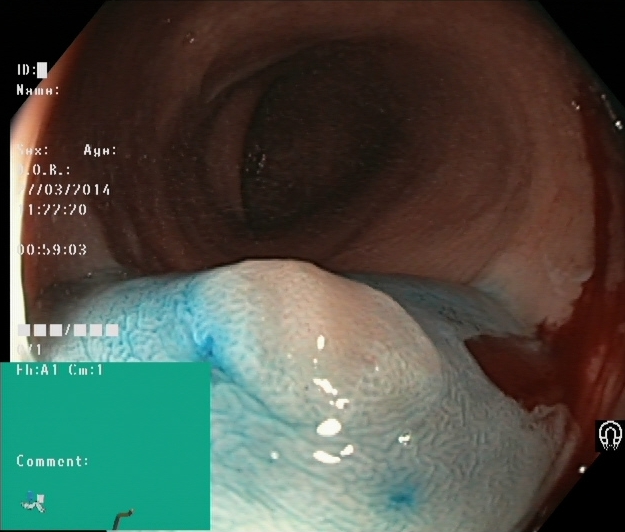Colonoscopy — dyed and lifted polyp (pre-resection).